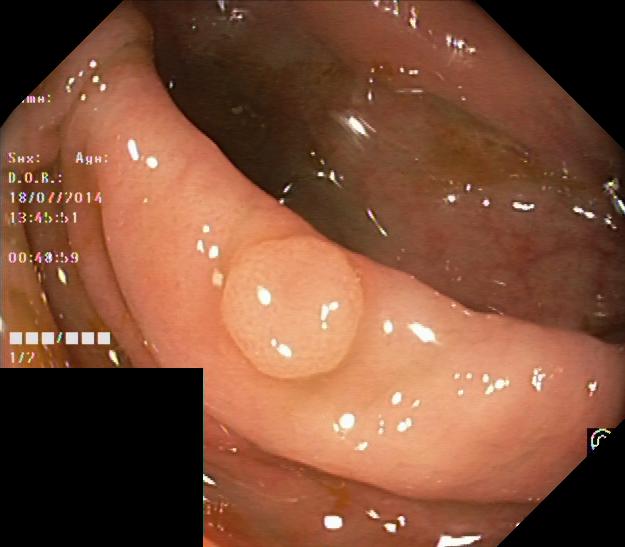colorectal polyp(s).